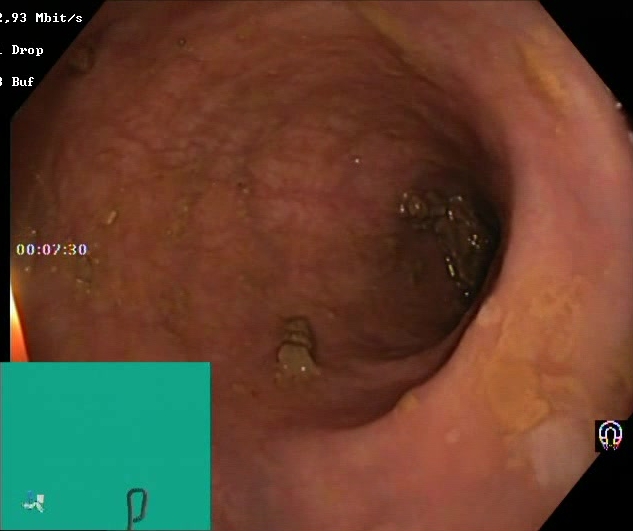PROCEDURE: Lower gastrointestinal endoscopy.
FINDINGS: BBPS score 2–3 (adequate preparation).